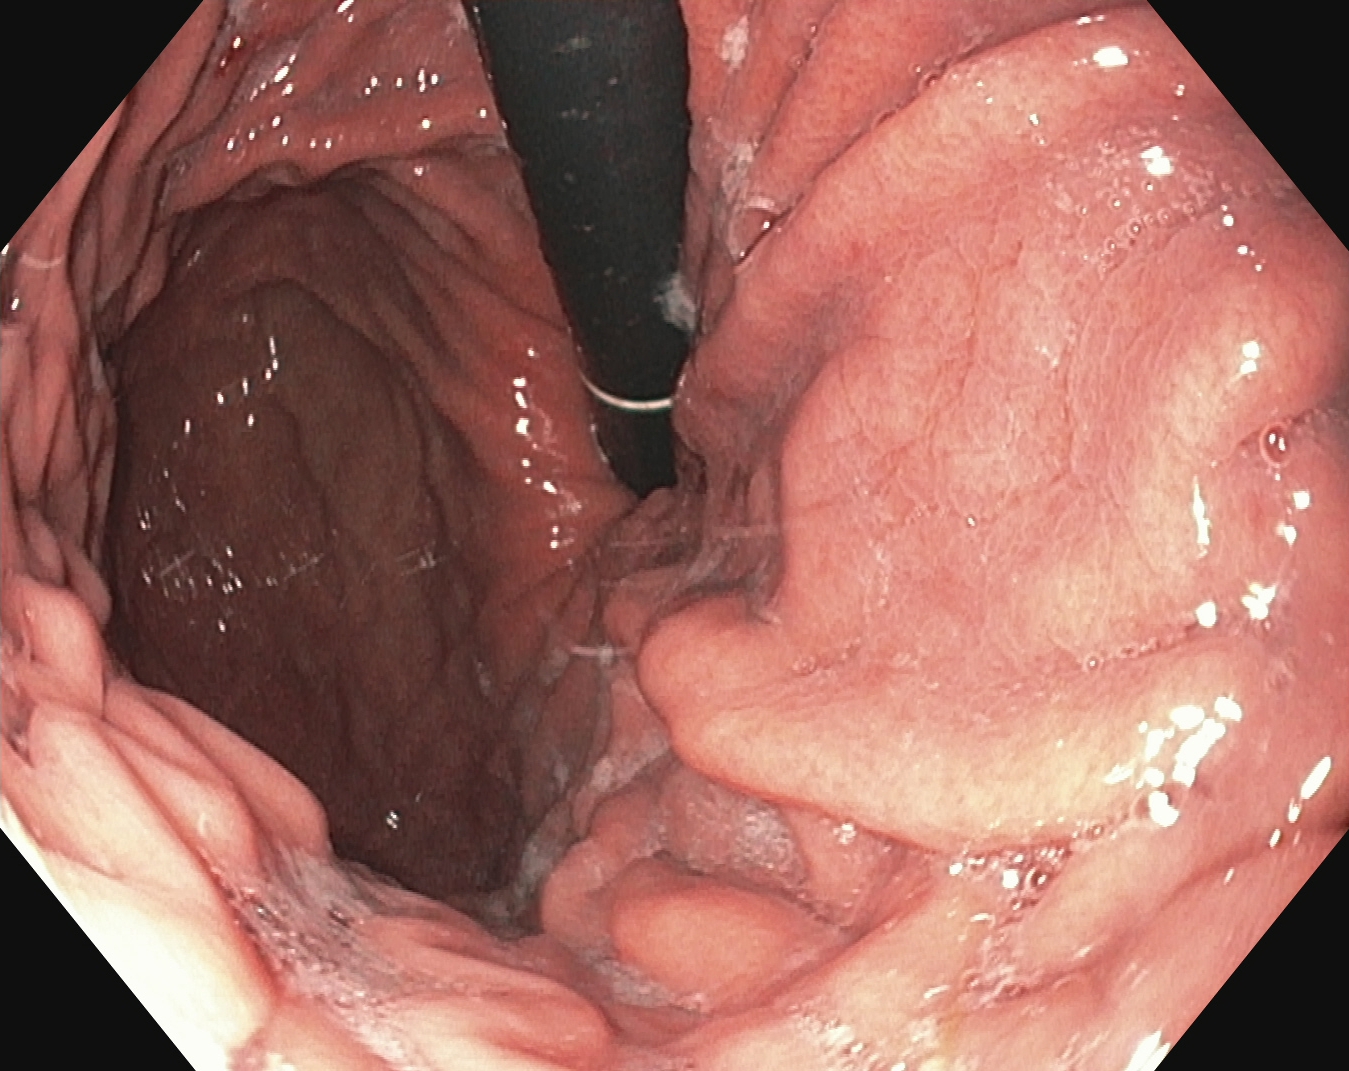PROCEDURE: Upper-GI endoscopy.
FINDINGS: Stomach in retroflexion.